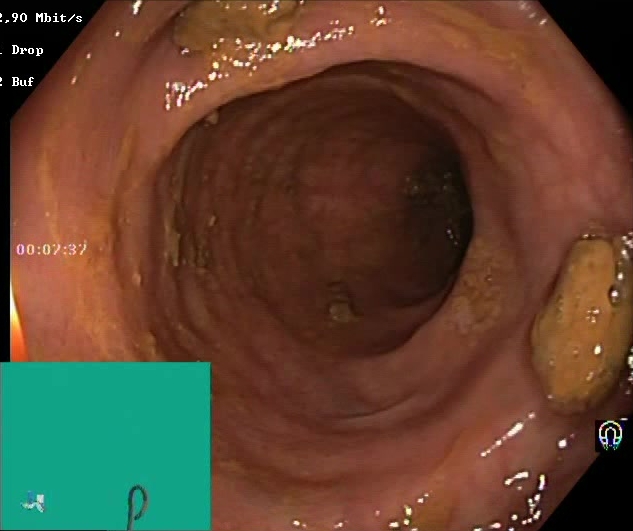Impacted stool.